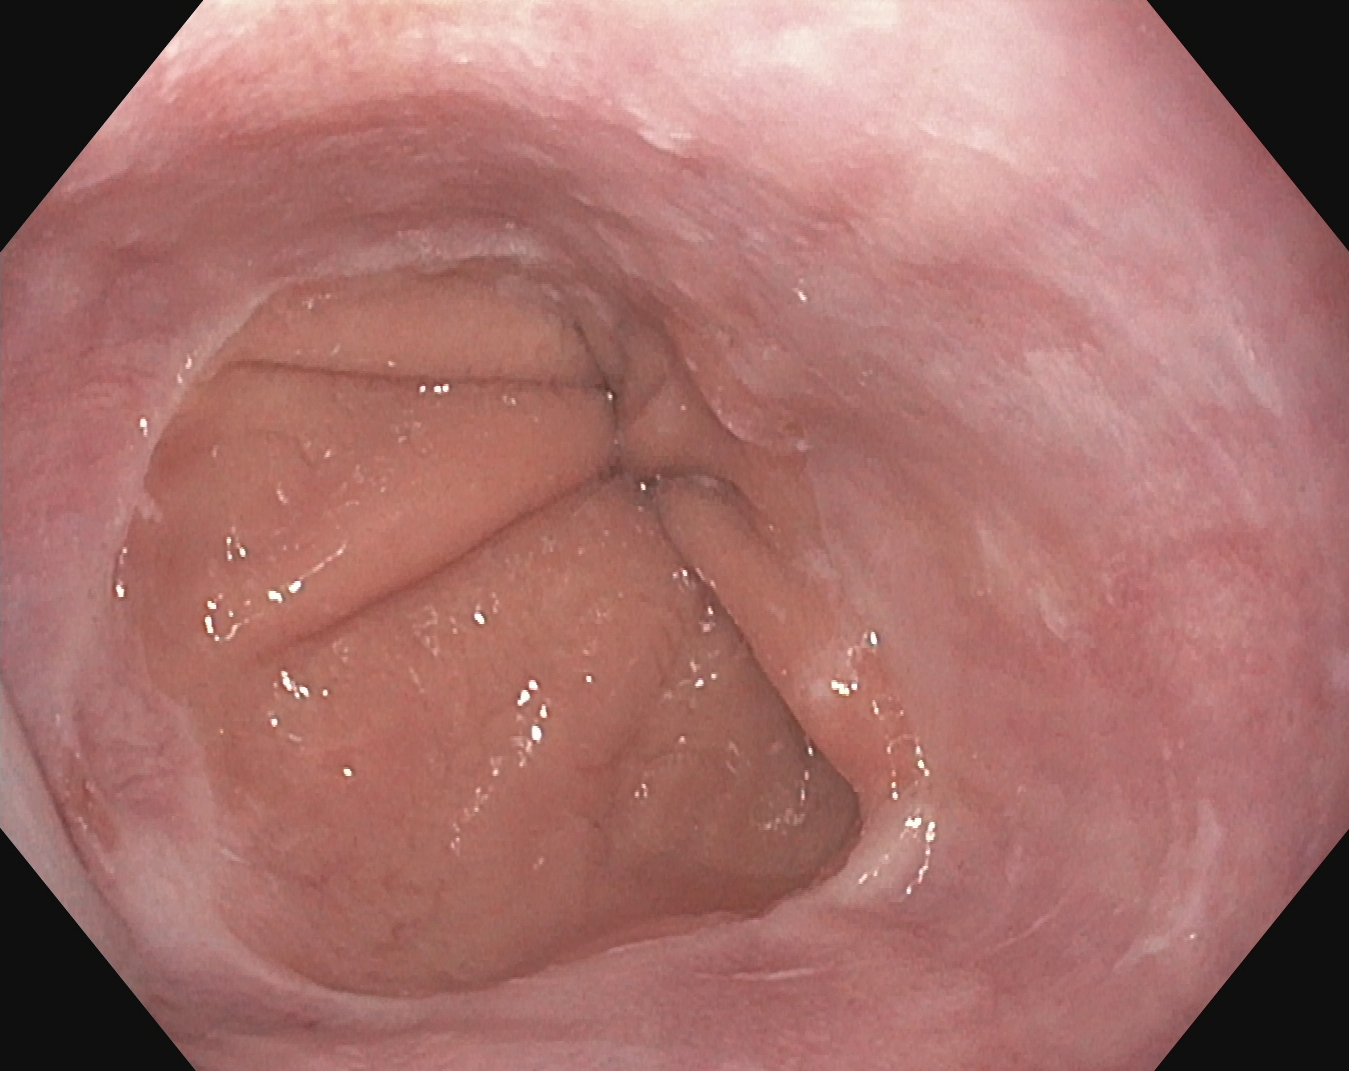Esophagogastroduodenoscopy image of the upper GI tract showing Z-line (gastroesophageal junction).